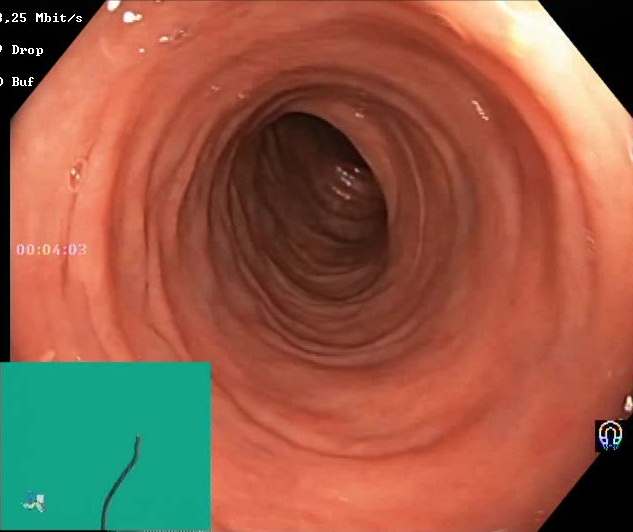{"modality": "colonoscopy", "tract": "lower GI tract", "finding": "Boston Bowel Preparation Scale score 2\u20133 (adequate preparation)"}